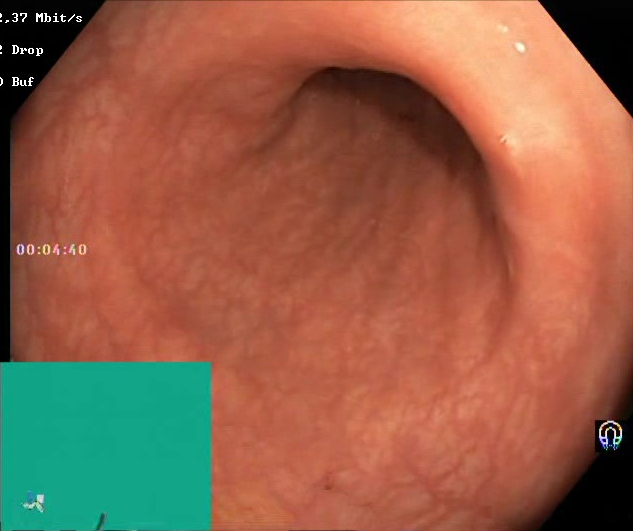Endoscopic frame of the lower GI tract showing Boston Bowel Preparation Scale score 2–3 (adequate preparation).